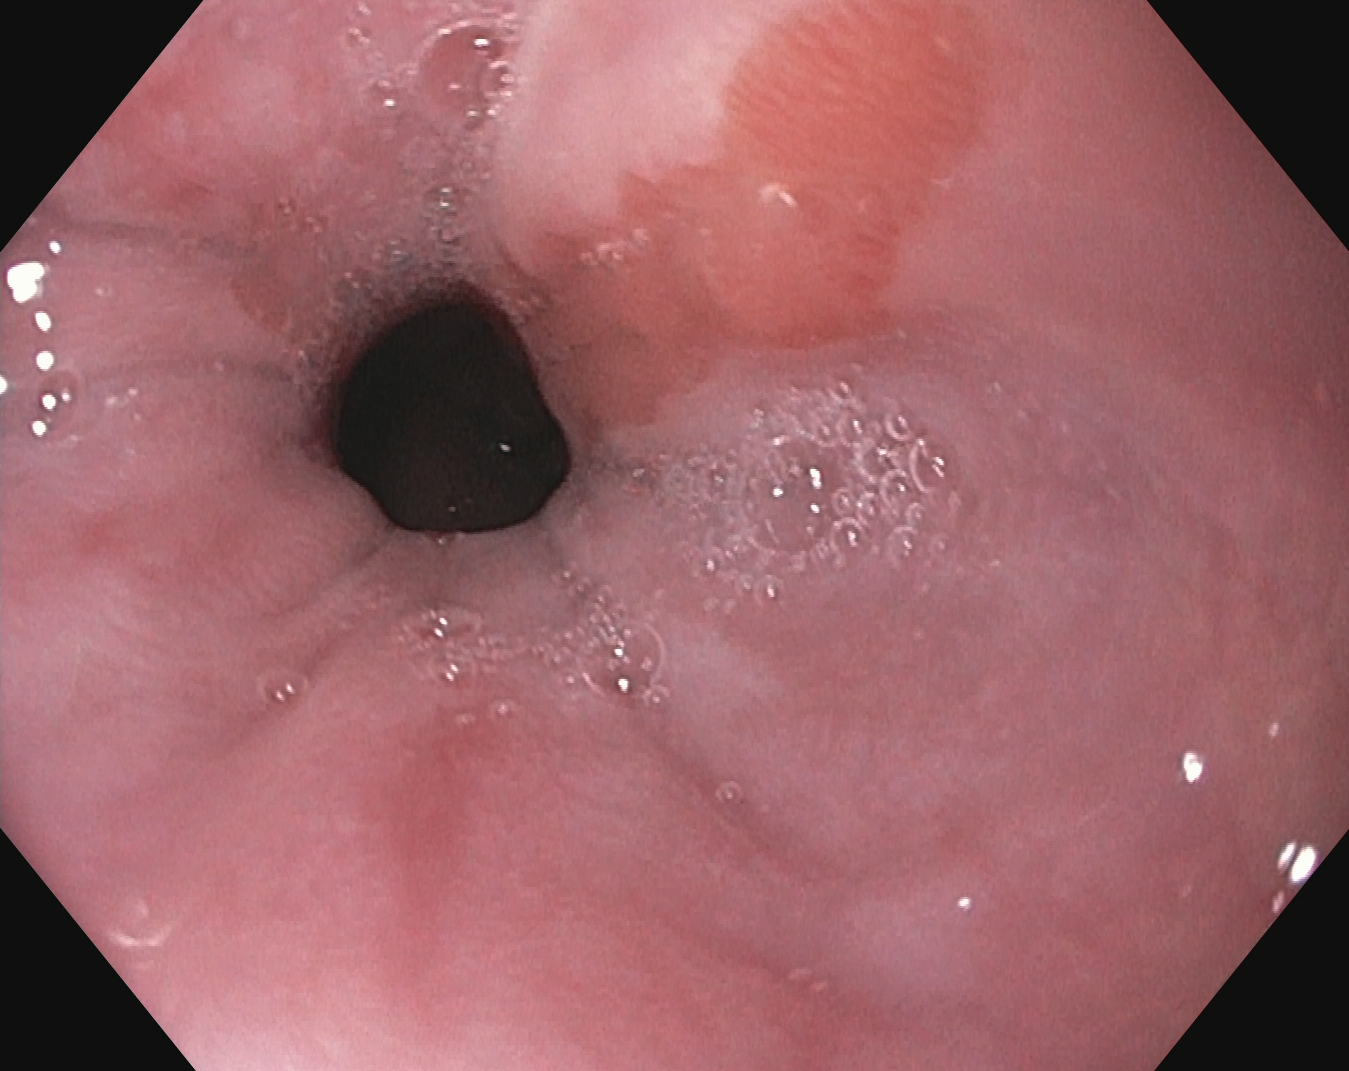Barrett's esophagus.